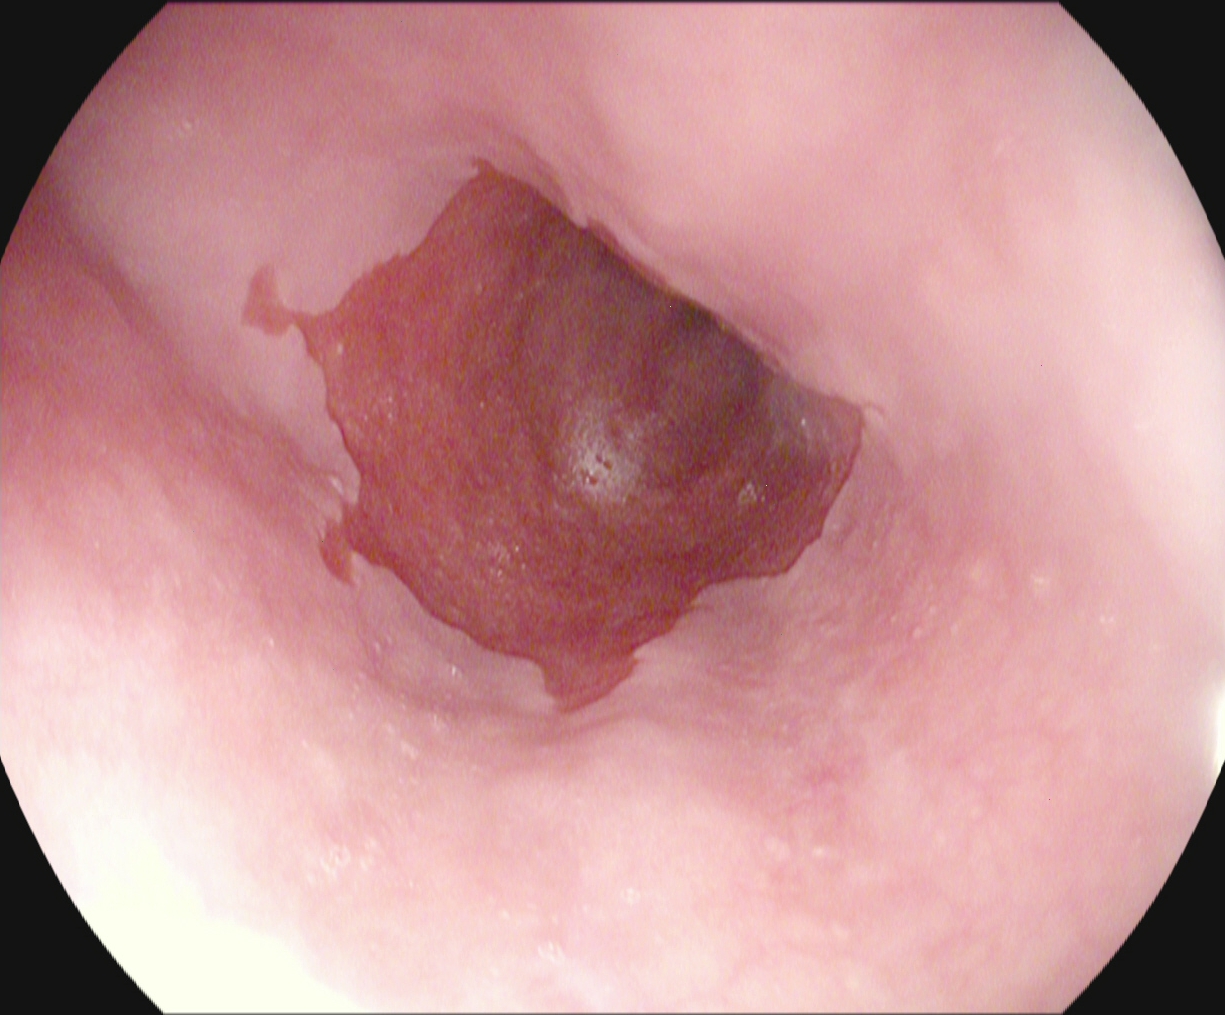This endoscopic image shows Barrett's esophagus.